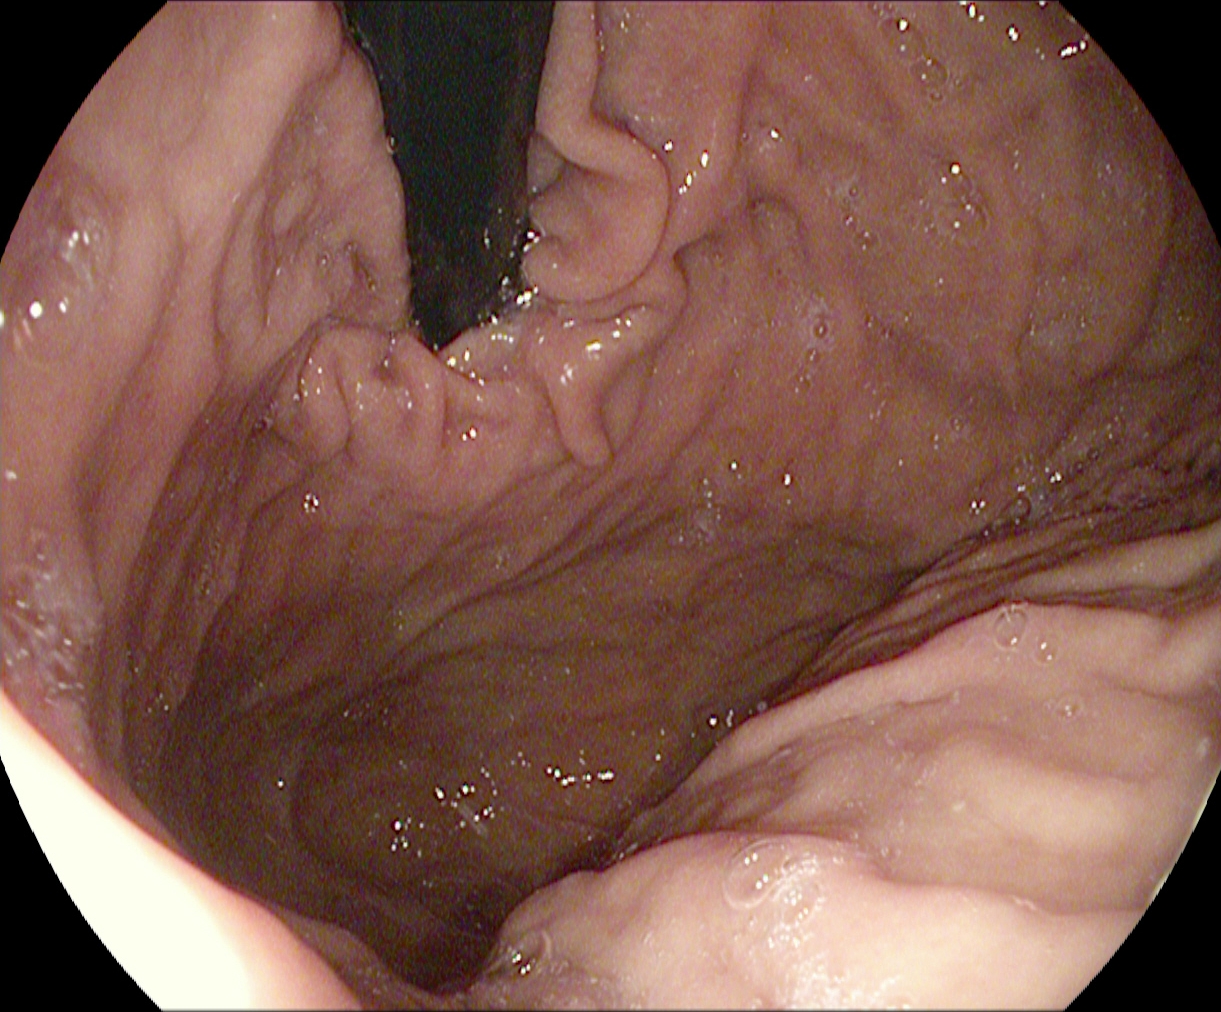This endoscopic image of the upper GI tract shows stomach in retroflexion.